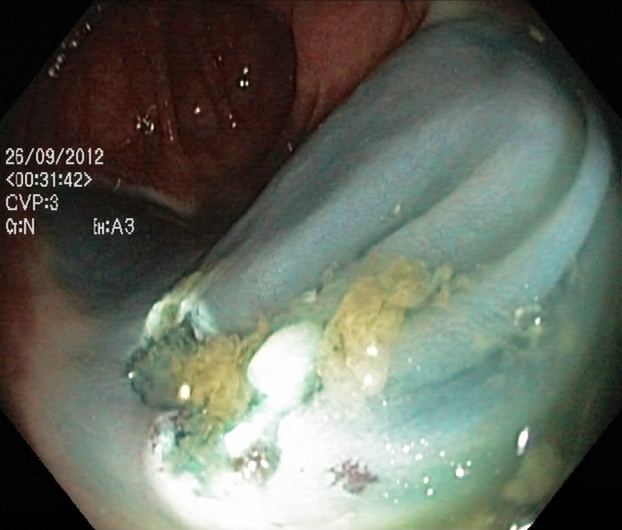dyed resection margins (post-polypectomy).